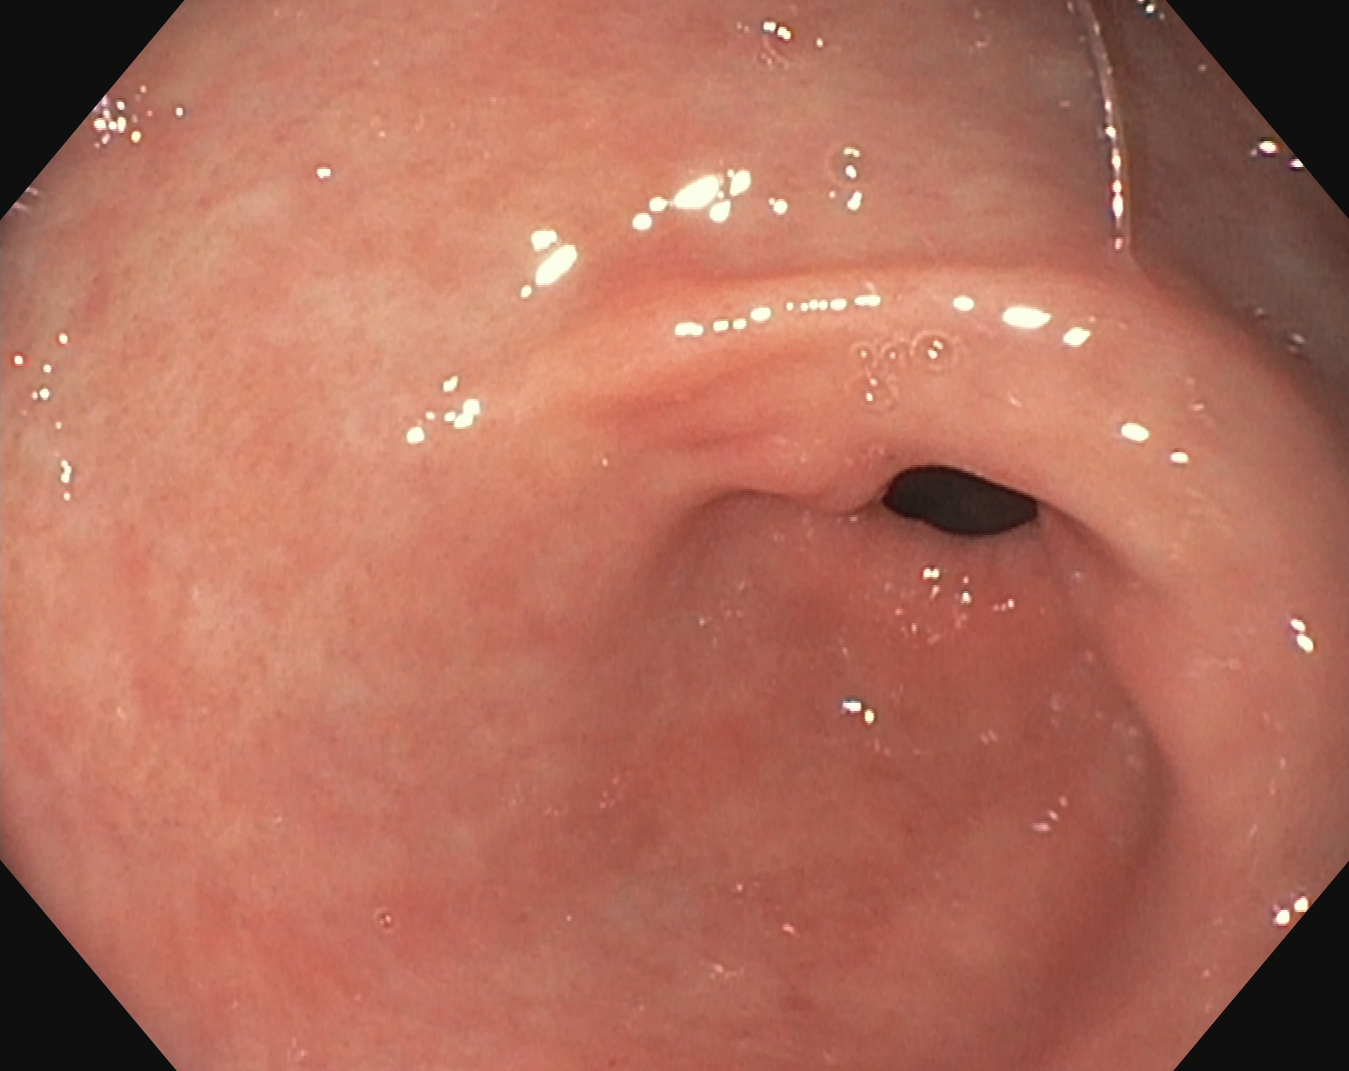Pylorus.